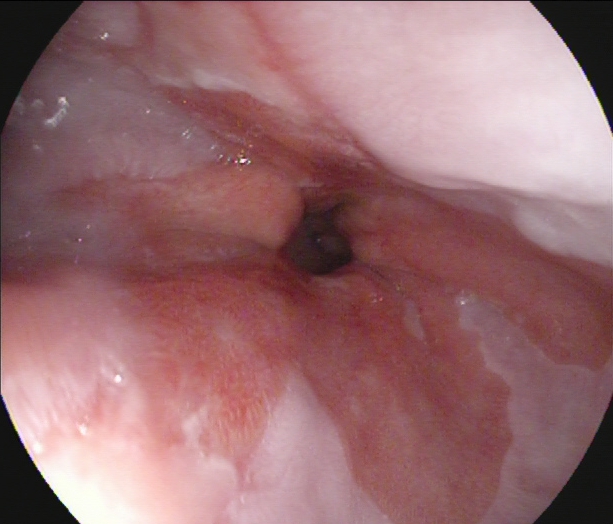PROCEDURE: Gastroscopy.
CATEGORY: Pathological finding.
FINDINGS: Barrett's esophagus.